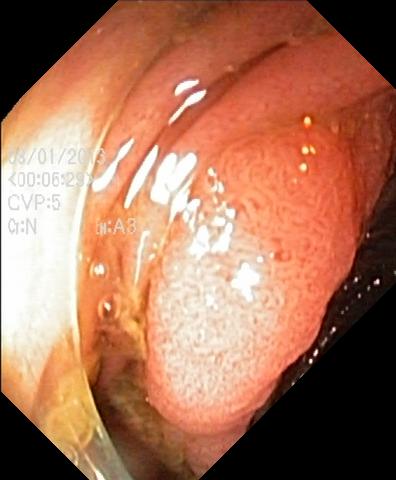{"modality": "lower gastrointestinal endoscopy", "finding": "colorectal polyp(s)"}